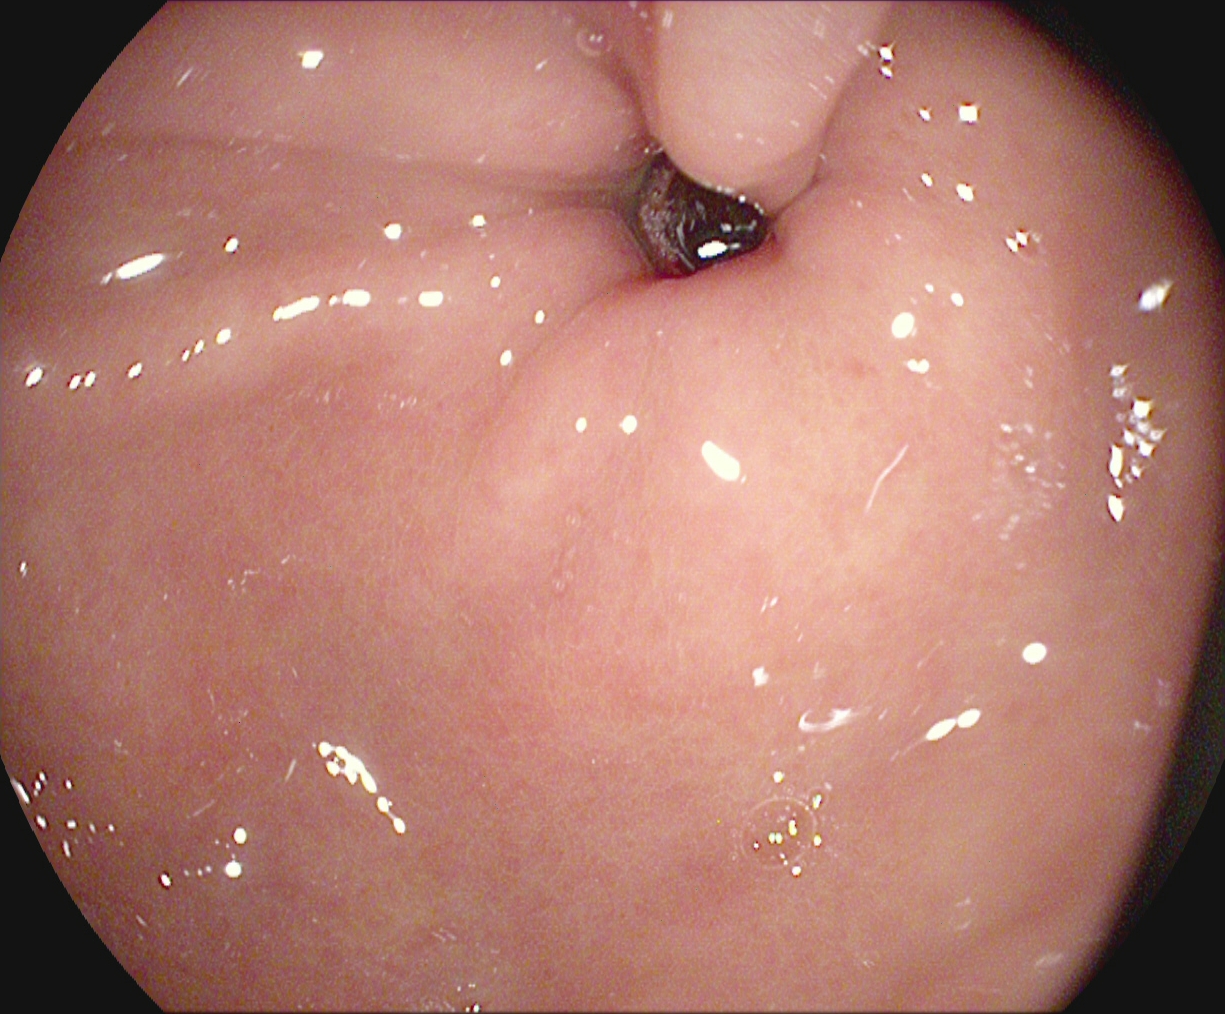modality: upper-GI endoscopy | category: anatomical landmark | finding: pylorus